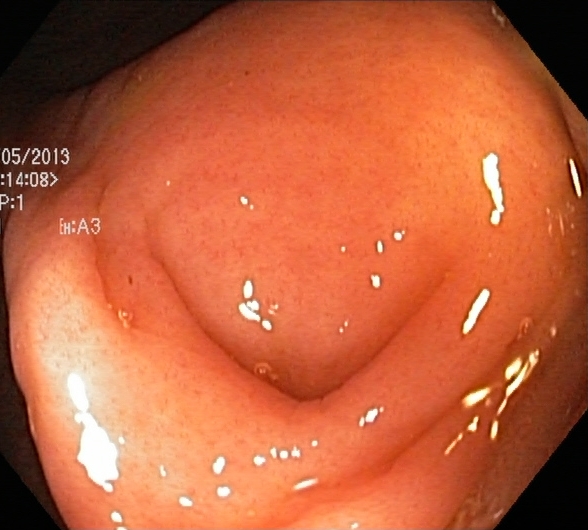modality: lower-GI endoscopy | tract: lower GI tract | finding: cecum